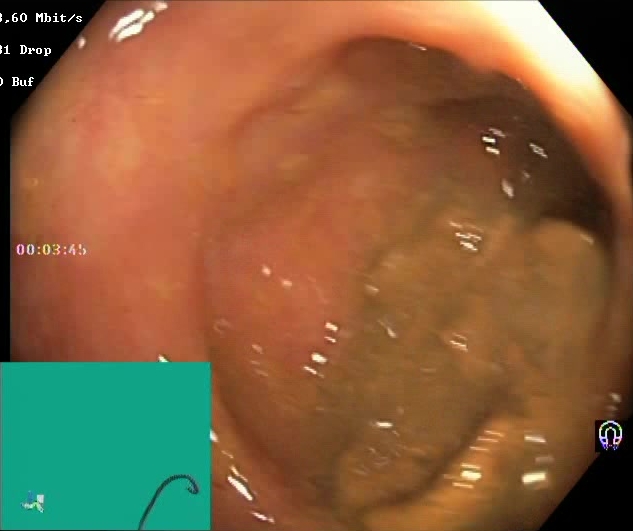Boston Bowel Preparation Scale score 0–1 (inadequate preparation).